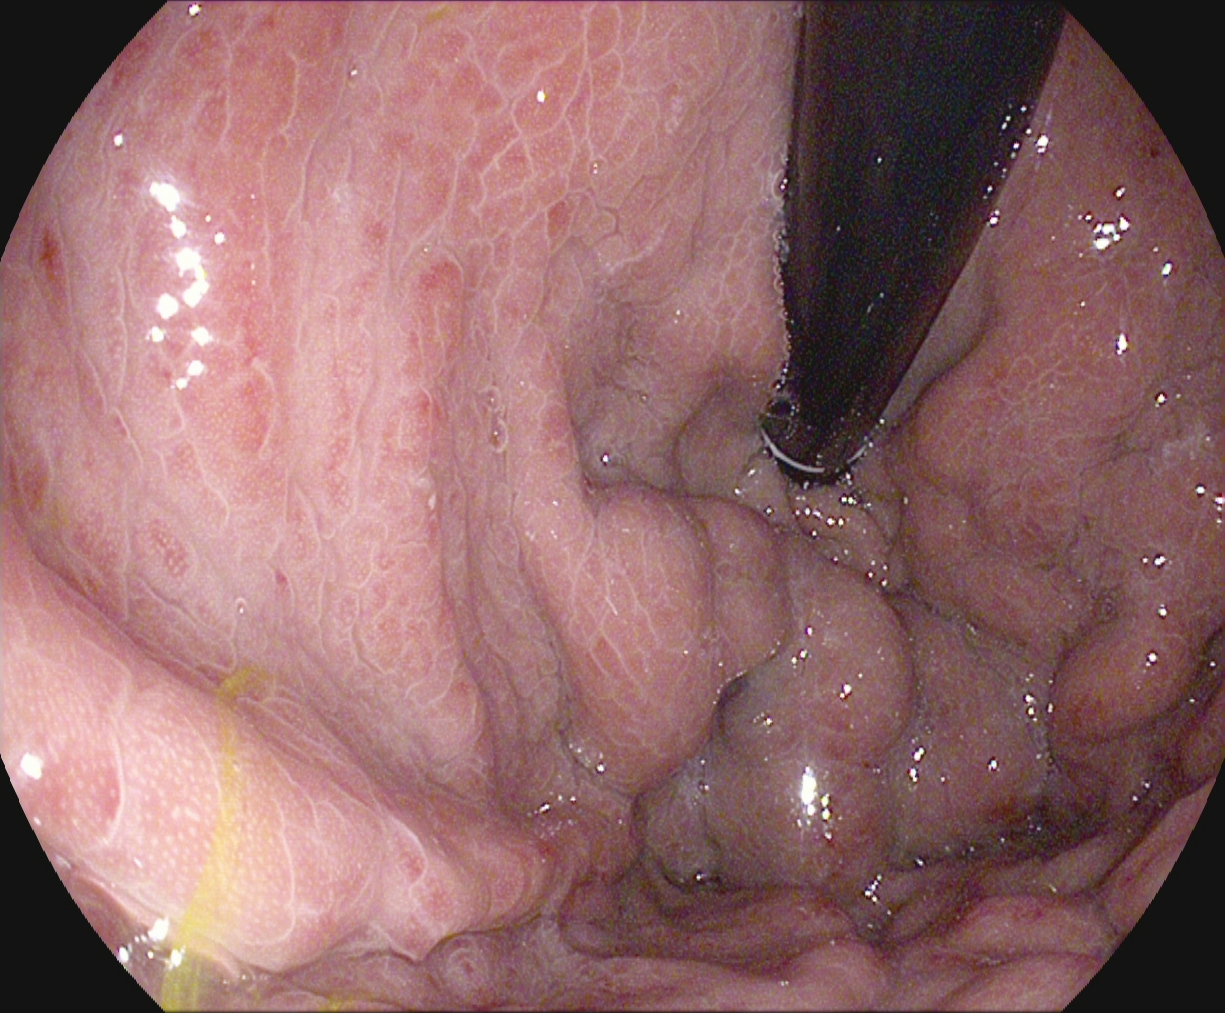{"modality": "EGD", "finding": "stomach in retroflexion"}